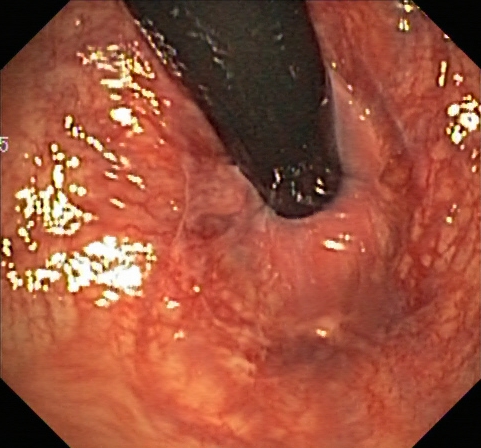Colonoscopy. Tract: lower GI tract. Anatomical landmark. Finding: rectum in retroflexion.